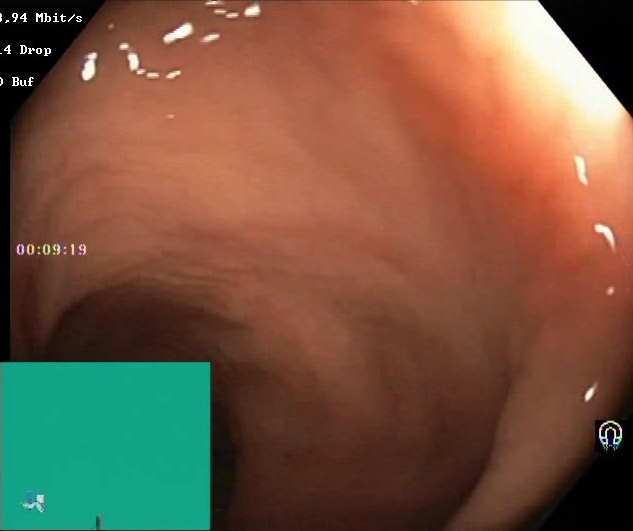Gastrointestinal endoscopy image of the lower GI tract showing BBPS score 2–3 (adequate preparation).